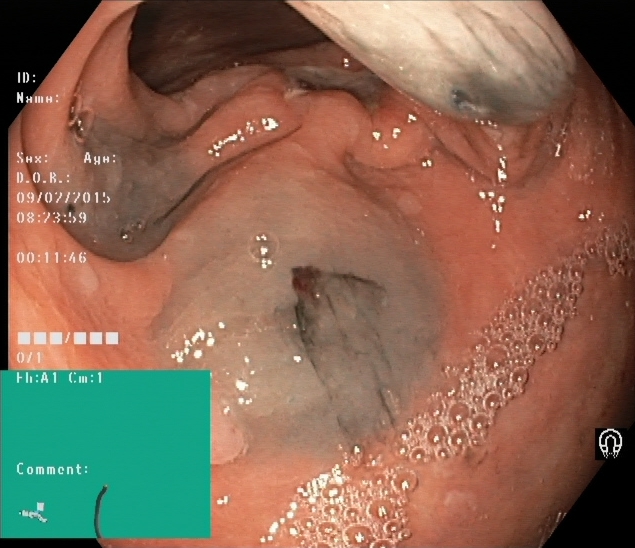Lower-GI endoscopy — dyed and lifted polyp (pre-resection).